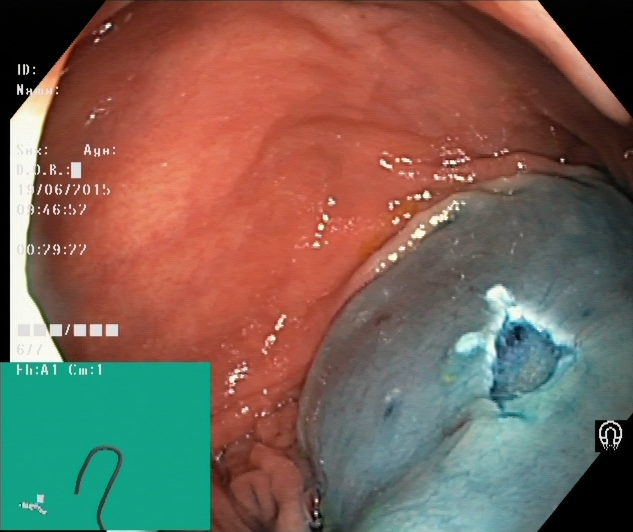Endoscopic image showing dyed resection margins (post-polypectomy).